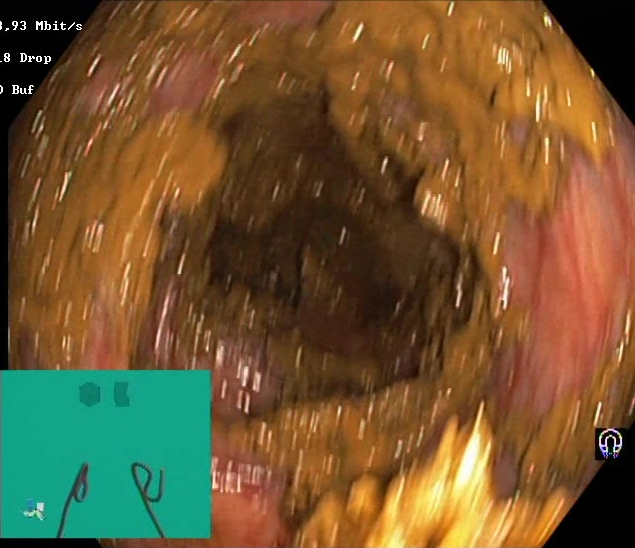This endoscopic image of the lower GI tract shows Boston Bowel Preparation Scale score 0–1 (inadequate preparation).